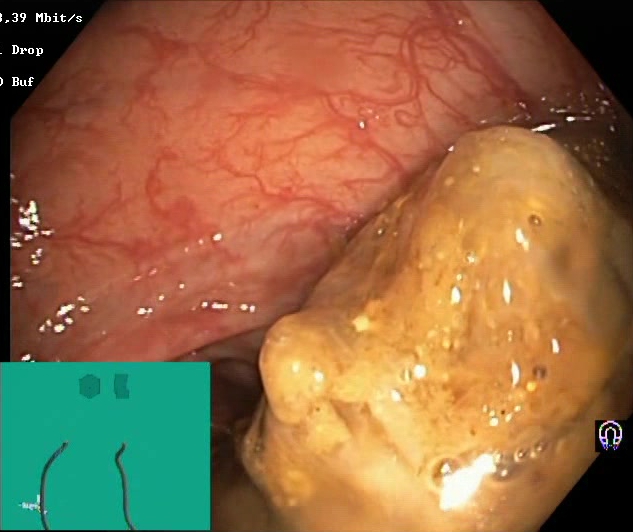modality: colonoscopy
category: mucosal-view quality
finding: Boston Bowel Preparation Scale score 0–1 (inadequate preparation)